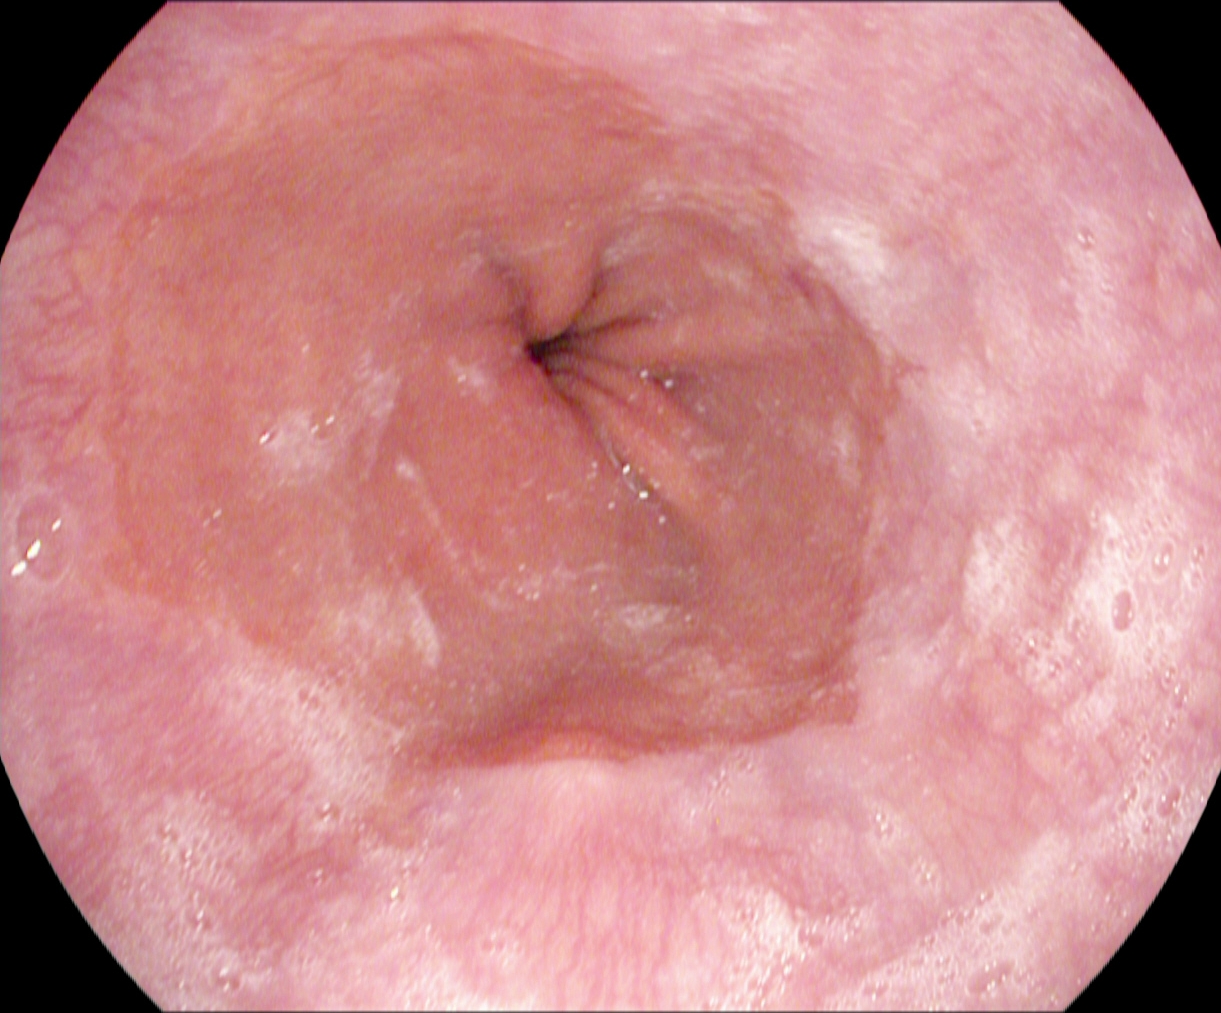PROCEDURE: EGD.
CATEGORY: Anatomical landmark.
FINDINGS: Z-line (gastroesophageal junction).